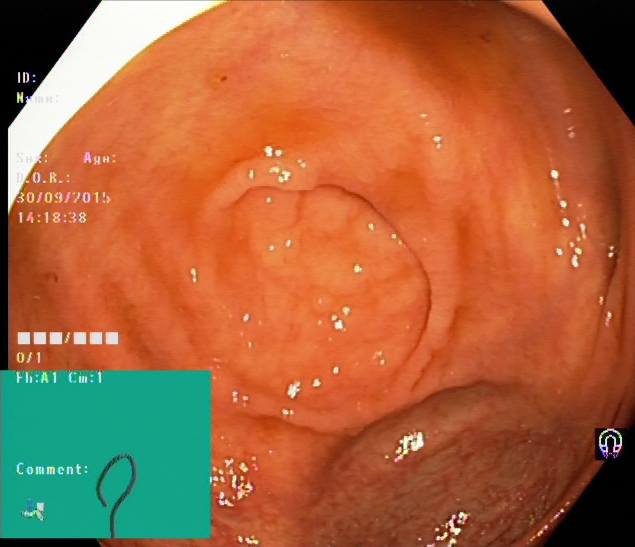modality: lower-GI endoscopy | tract: lower GI tract | finding: cecum